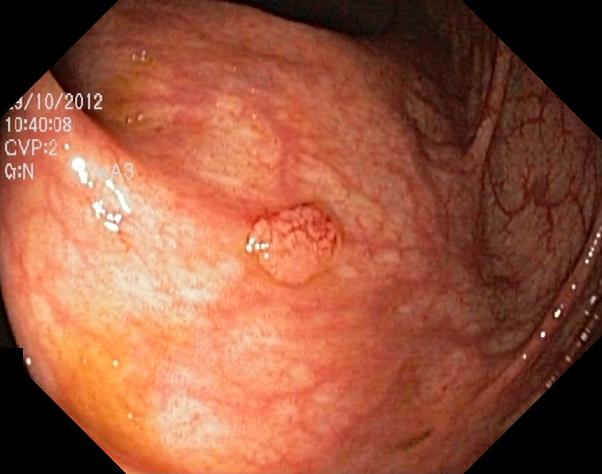{"modality": "lower gastrointestinal endoscopy", "finding": "colorectal polyp(s)"}